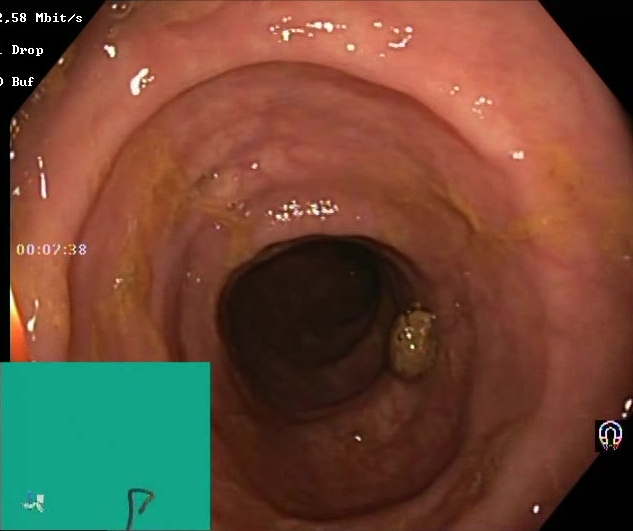This endoscopic image shows Boston Bowel Preparation Scale score 2–3 (adequate preparation).